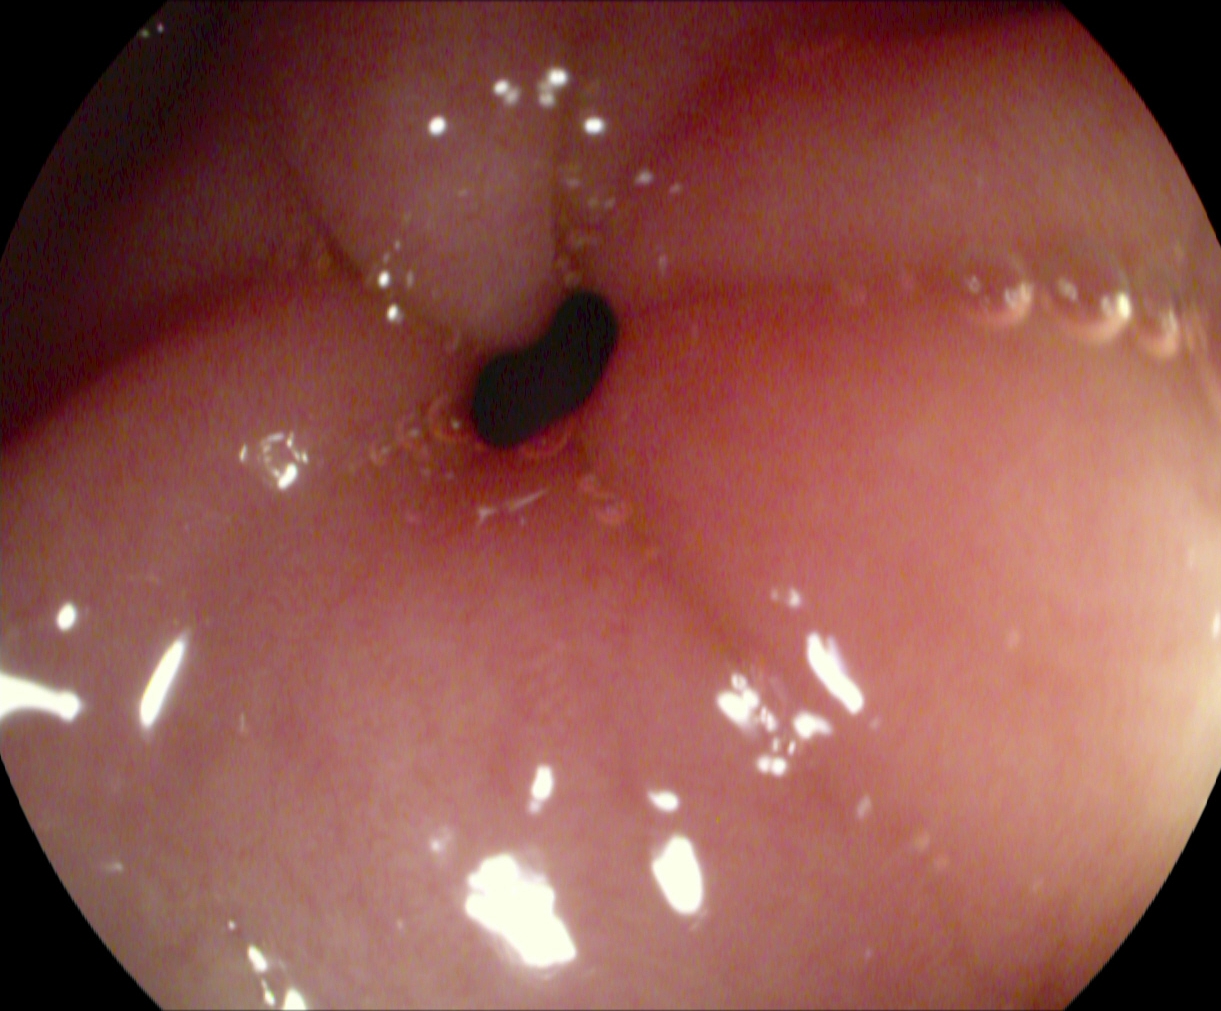PROCEDURE: EGD.
CATEGORY: Anatomical landmark.
FINDINGS: Pylorus.